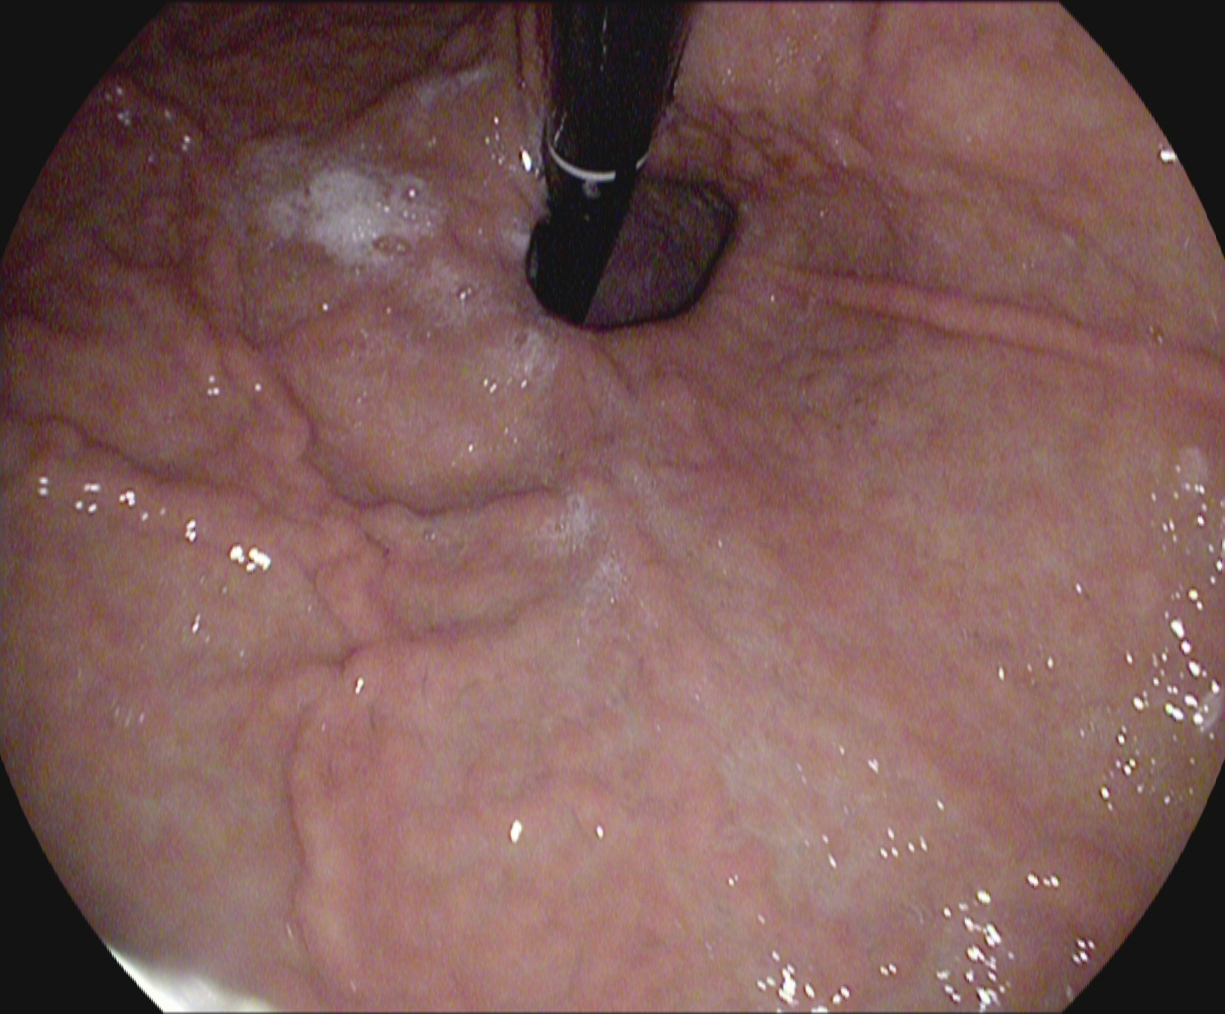Esophagogastroduodenoscopy image of the upper GI tract showing stomach in retroflexion.